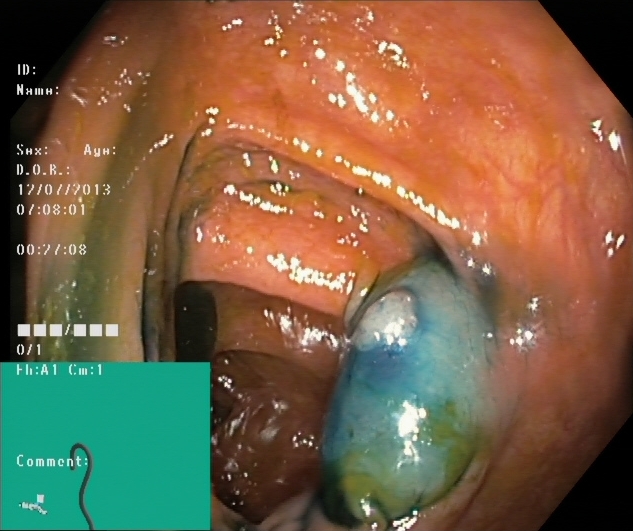{"modality": "lower-GI endoscopy", "tract": "lower GI tract", "category": "therapeutic intervention", "finding": "dyed and lifted polyp (pre-resection)"}